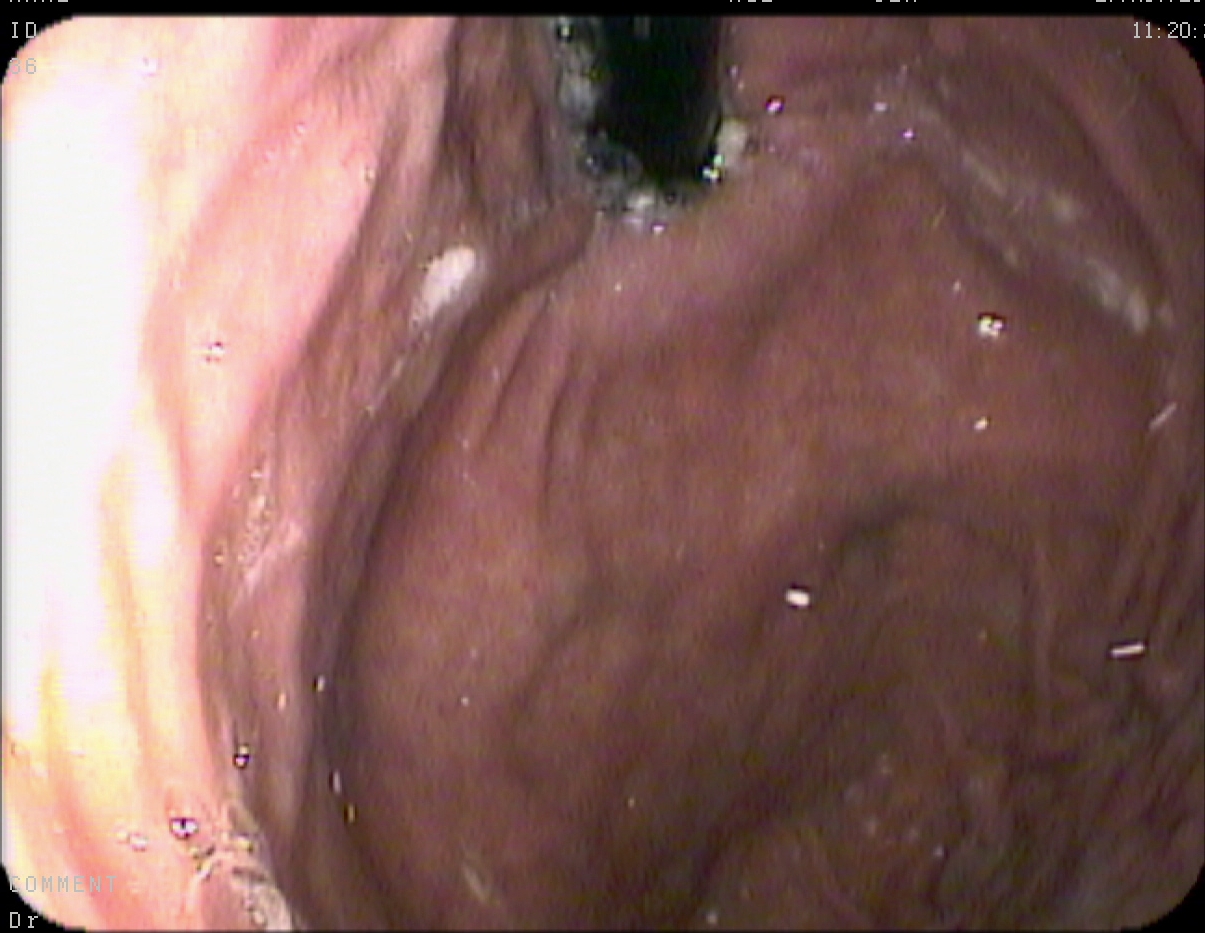Stomach in retroflexion.